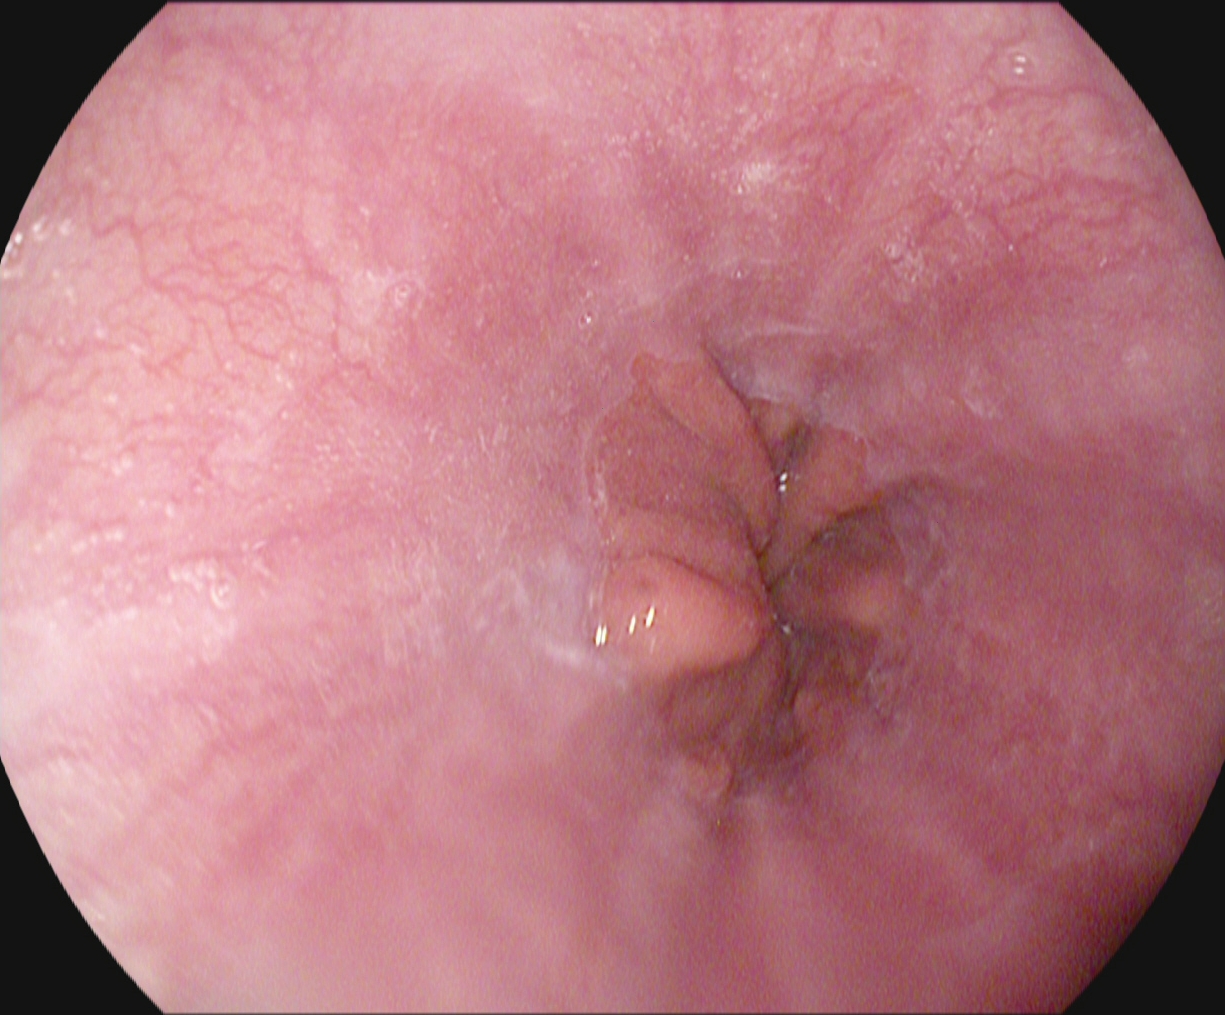EGD — Z-line (gastroesophageal junction).